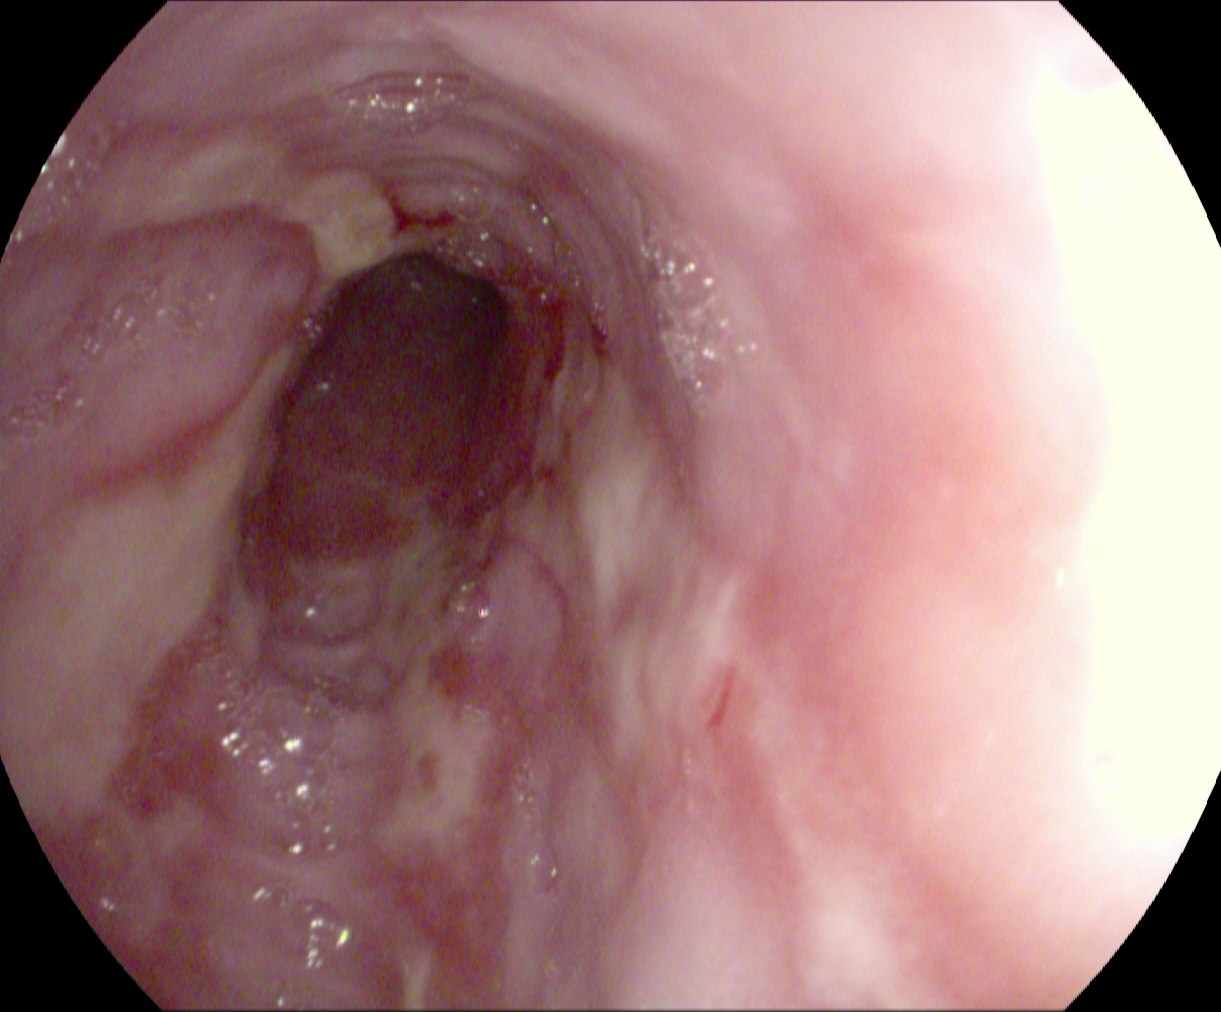Reflux esophagitis, LA grade B–D.